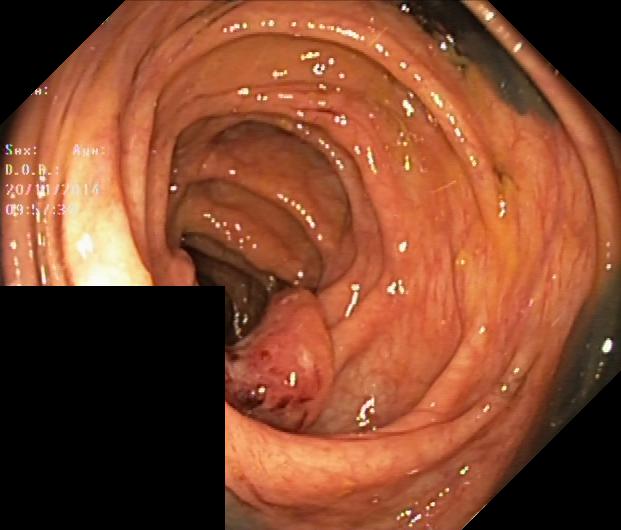Colonoscopy. Pathological finding. Finding: colorectal polyp(s).